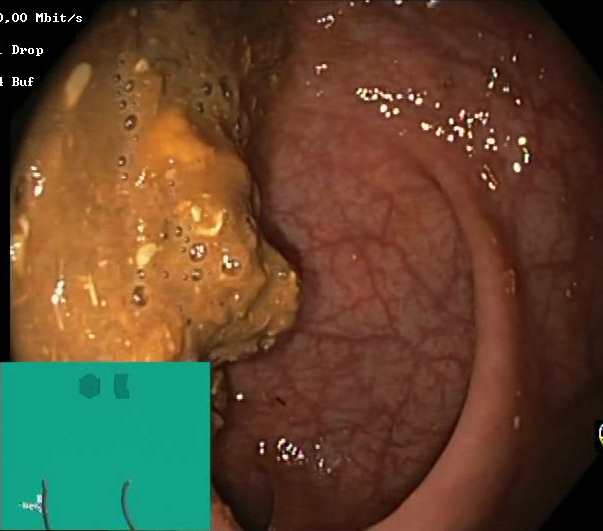Boston Bowel Preparation Scale score 0–1 (inadequate preparation).